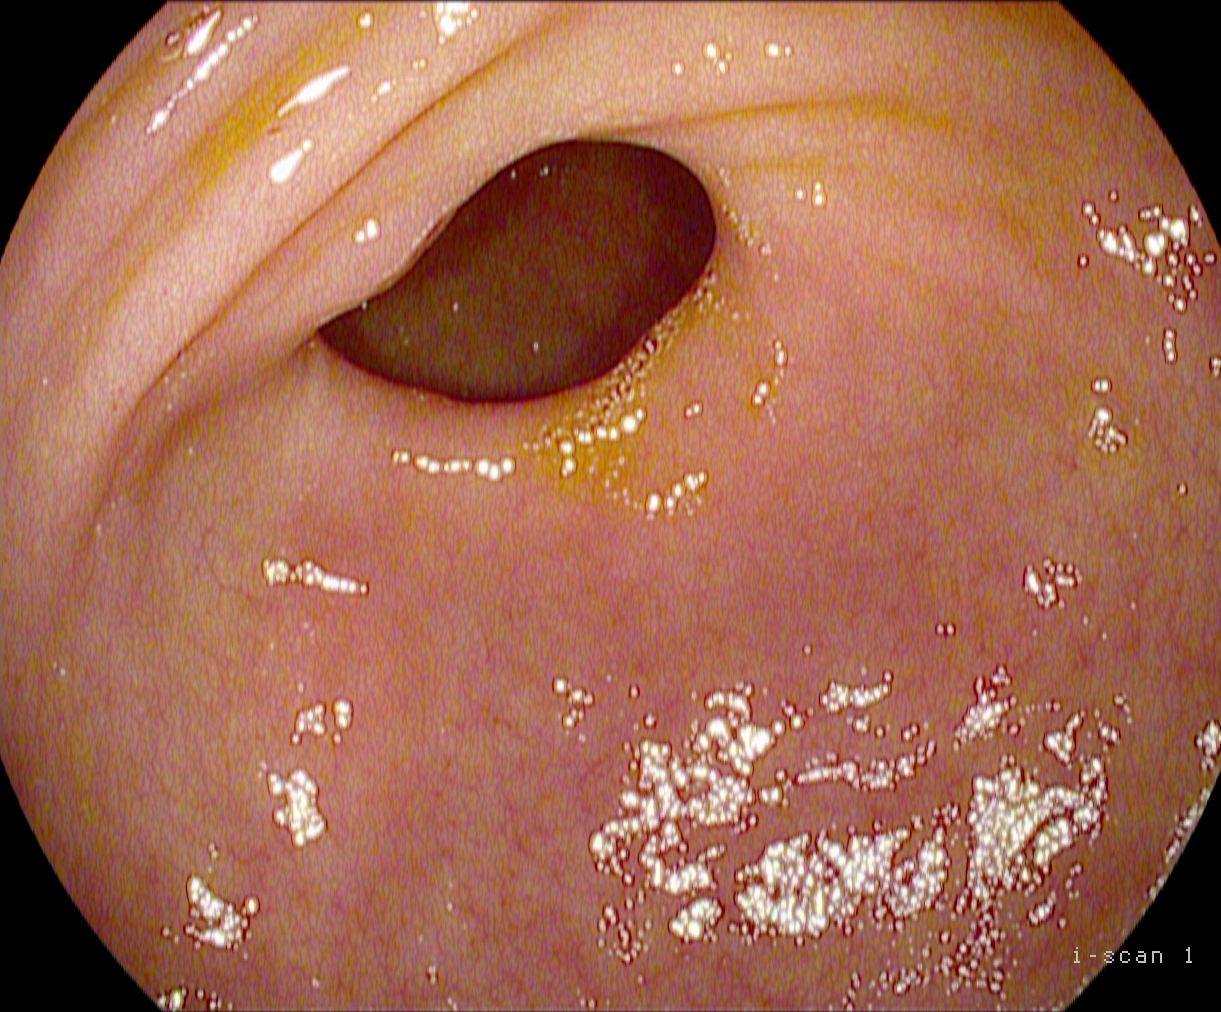EGD. Finding: pylorus.